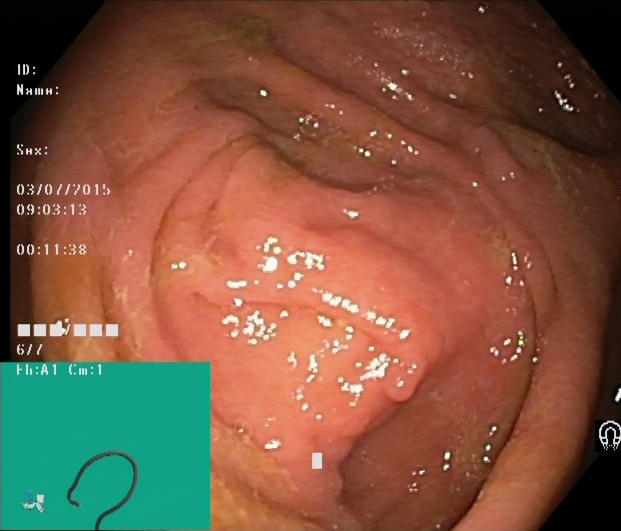Lower gastrointestinal endoscopy — cecum.